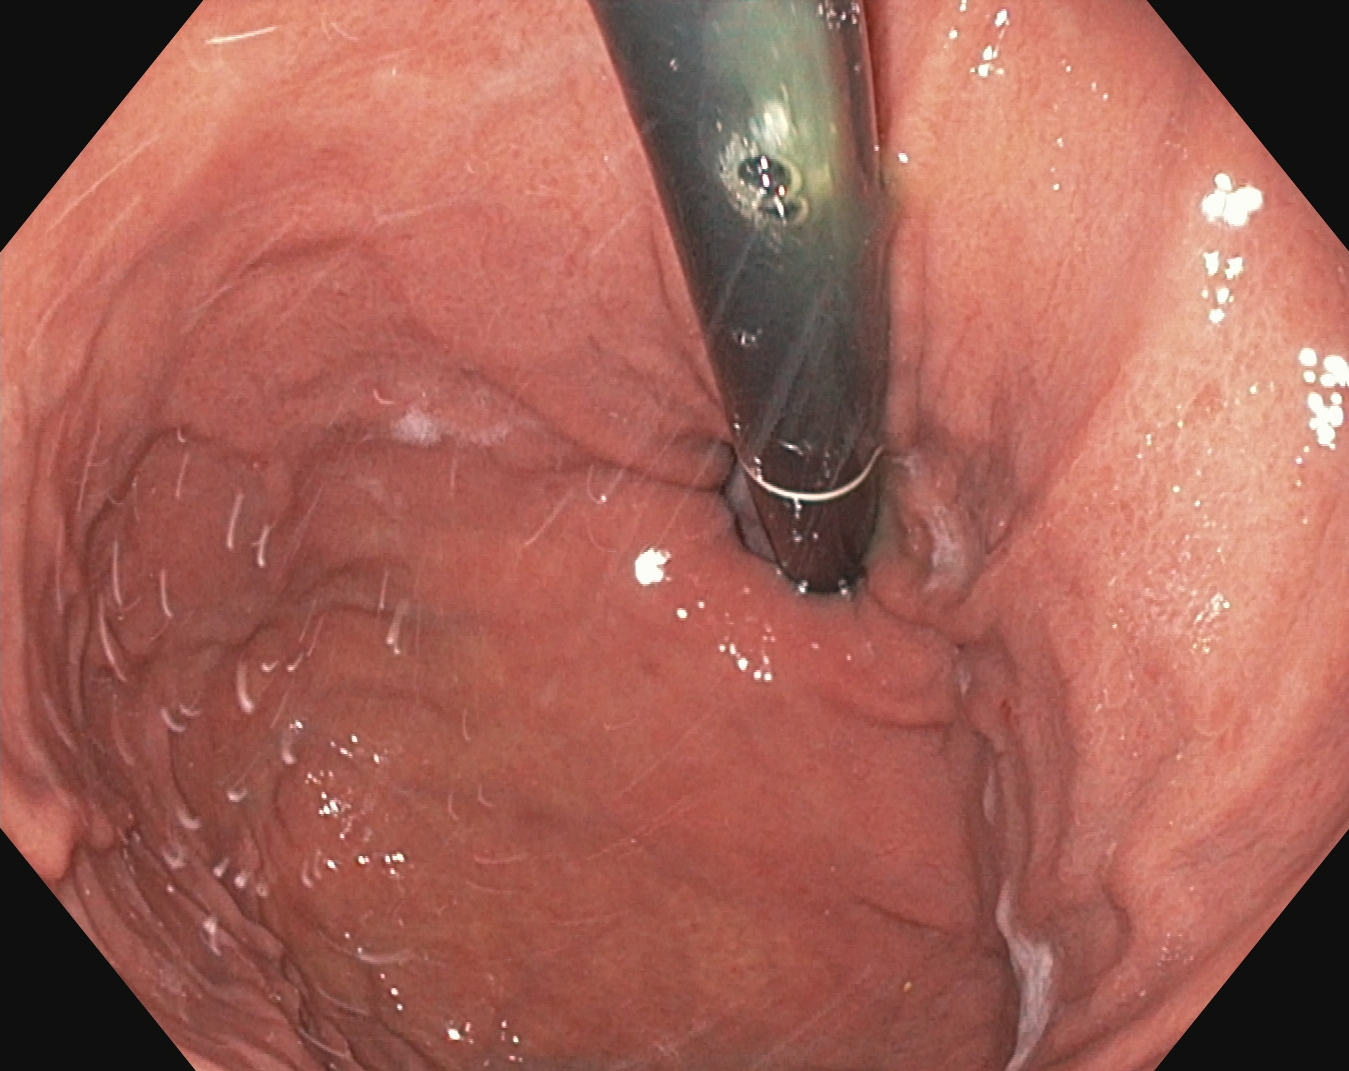{"modality": "EGD", "category": "anatomical landmark", "finding": "stomach in retroflexion"}